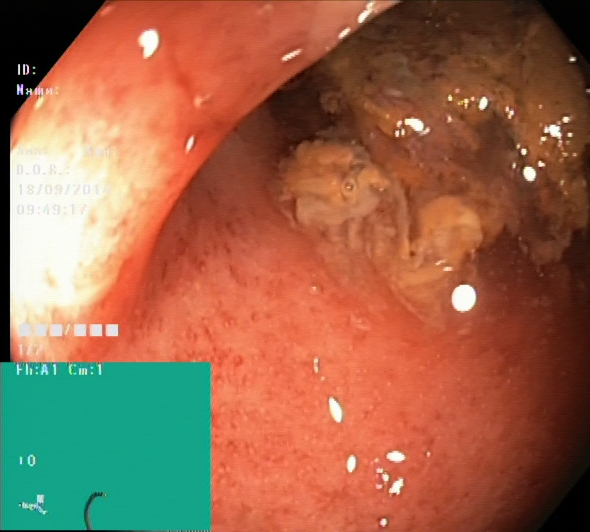Endoscopy image of the lower GI tract showing Boston Bowel Preparation Scale score 0–1 (inadequate preparation).